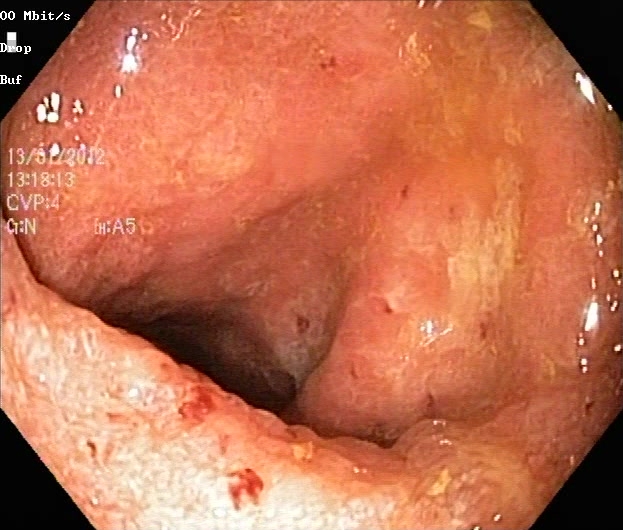Lower gastrointestinal endoscopy image of the lower GI tract showing ulcerative colitis, Mayo endoscopic subscore 2.